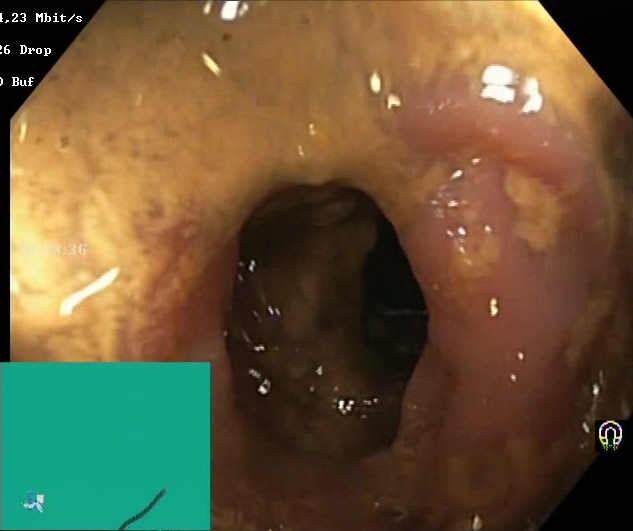This endoscopy frame shows BBPS score 0–1 (inadequate preparation).